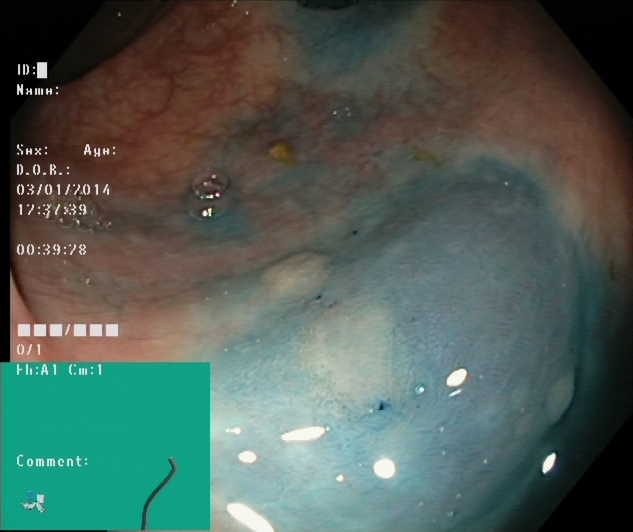Endoscopy image showing dyed and lifted polyp (pre-resection).